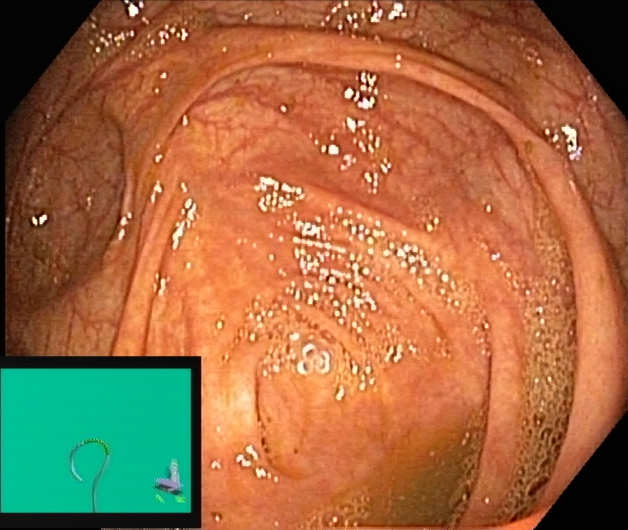Cecum.